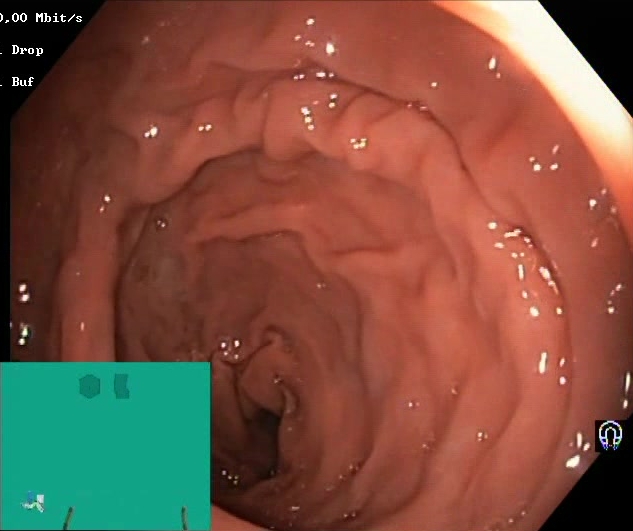{"modality": "lower gastrointestinal endoscopy", "finding": "BBPS score 2\u20133 (adequate preparation)"}